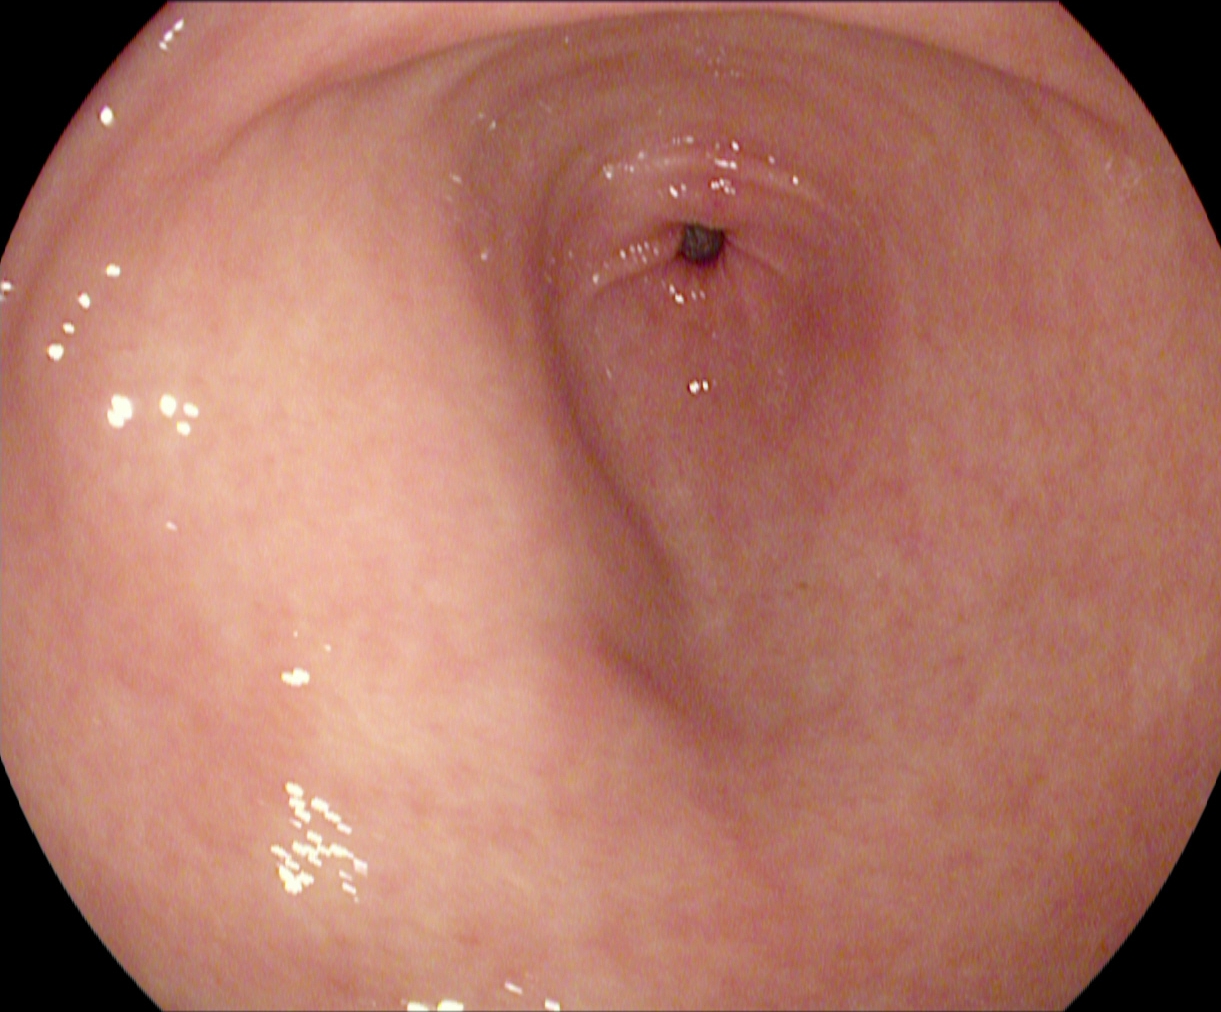GI endoscopy image of the upper GI tract showing pylorus.